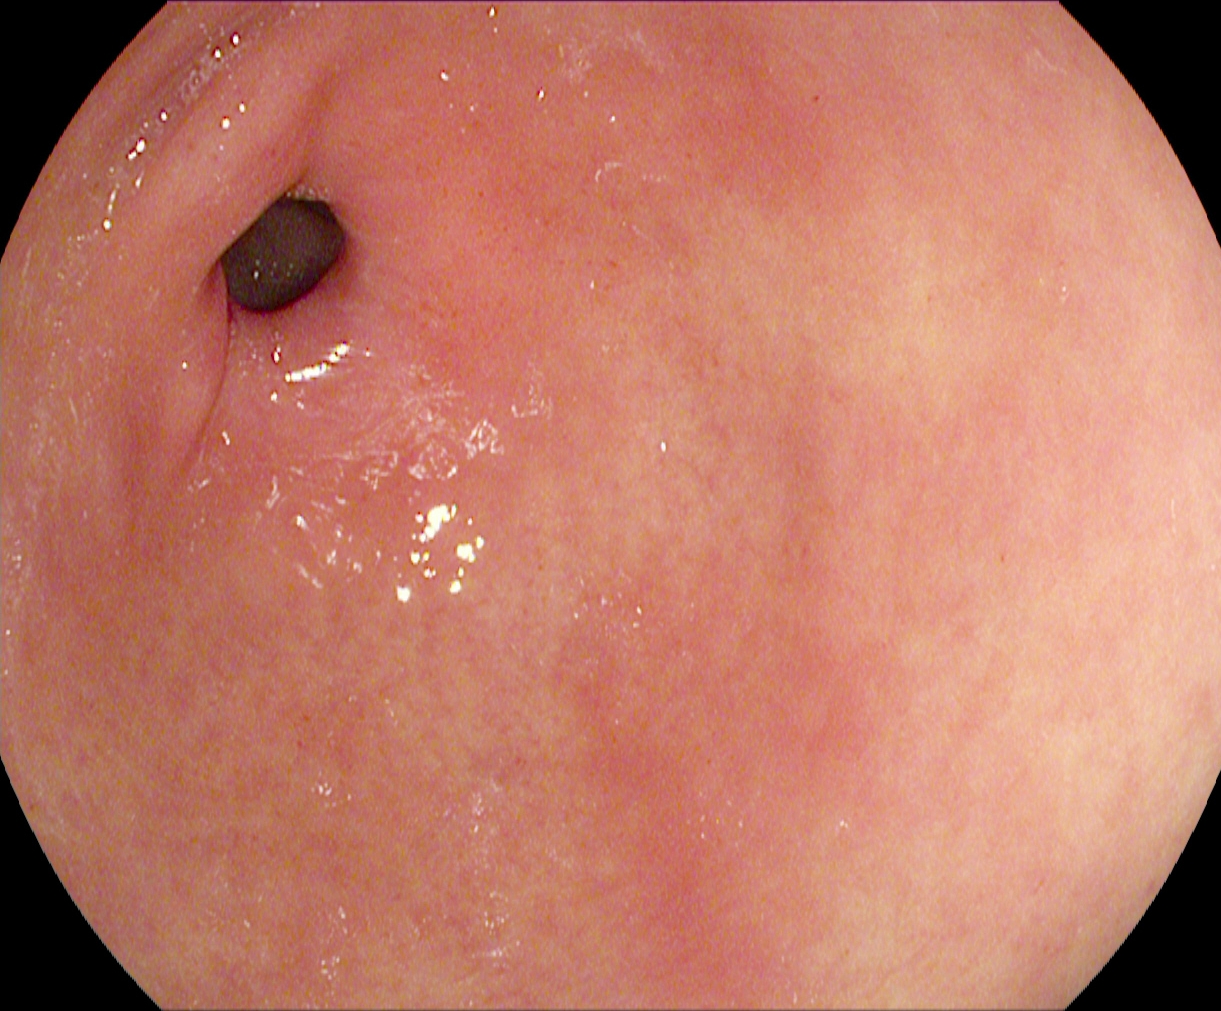Upper-GI endoscopy — pylorus.